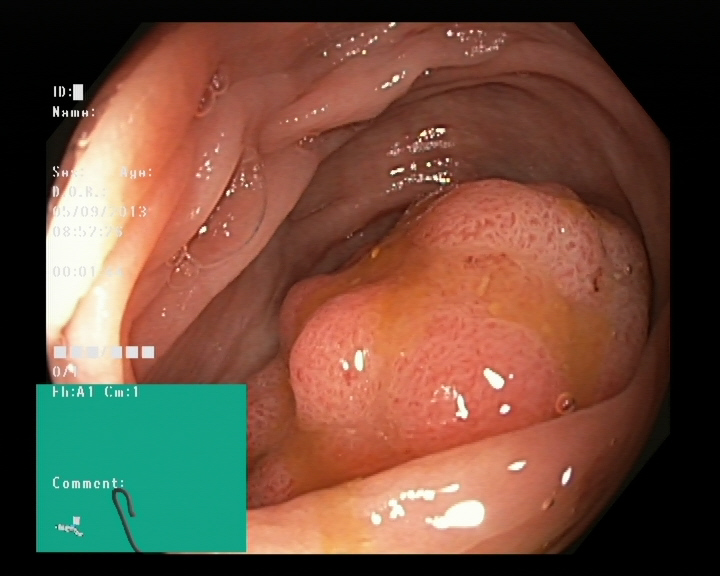Colonoscopy. Pathological finding. Finding: colorectal polyp(s).